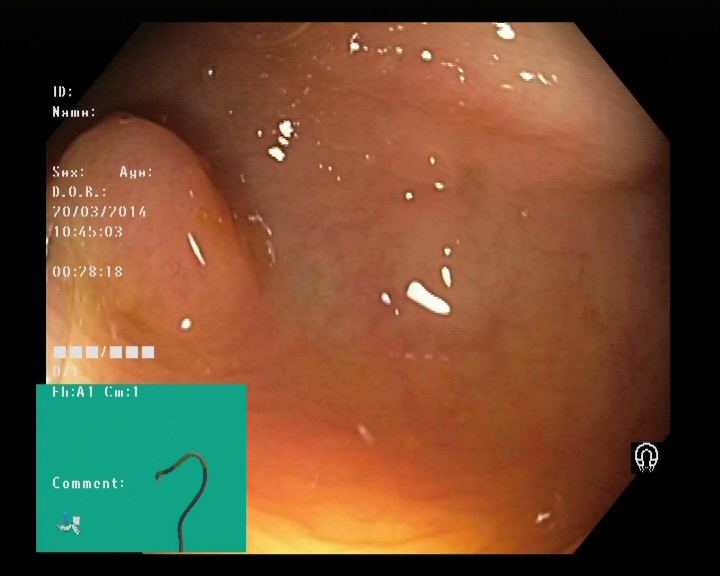modality: colonoscopy | tract: lower GI tract | category: pathological finding | finding: colorectal polyp(s)